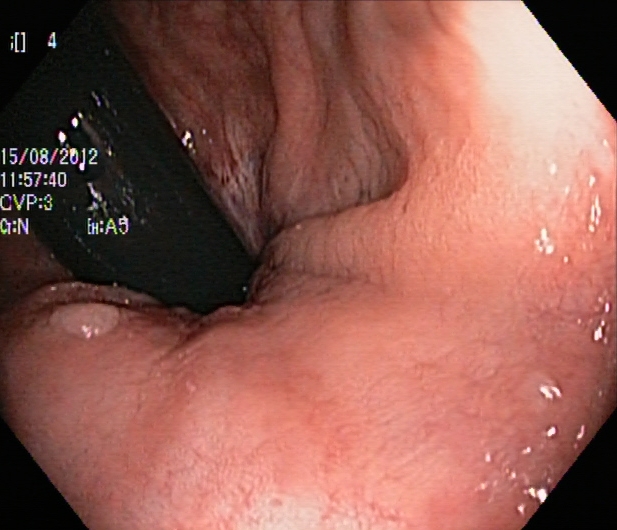{"modality": "colonoscopy", "finding": "rectum in retroflexion"}